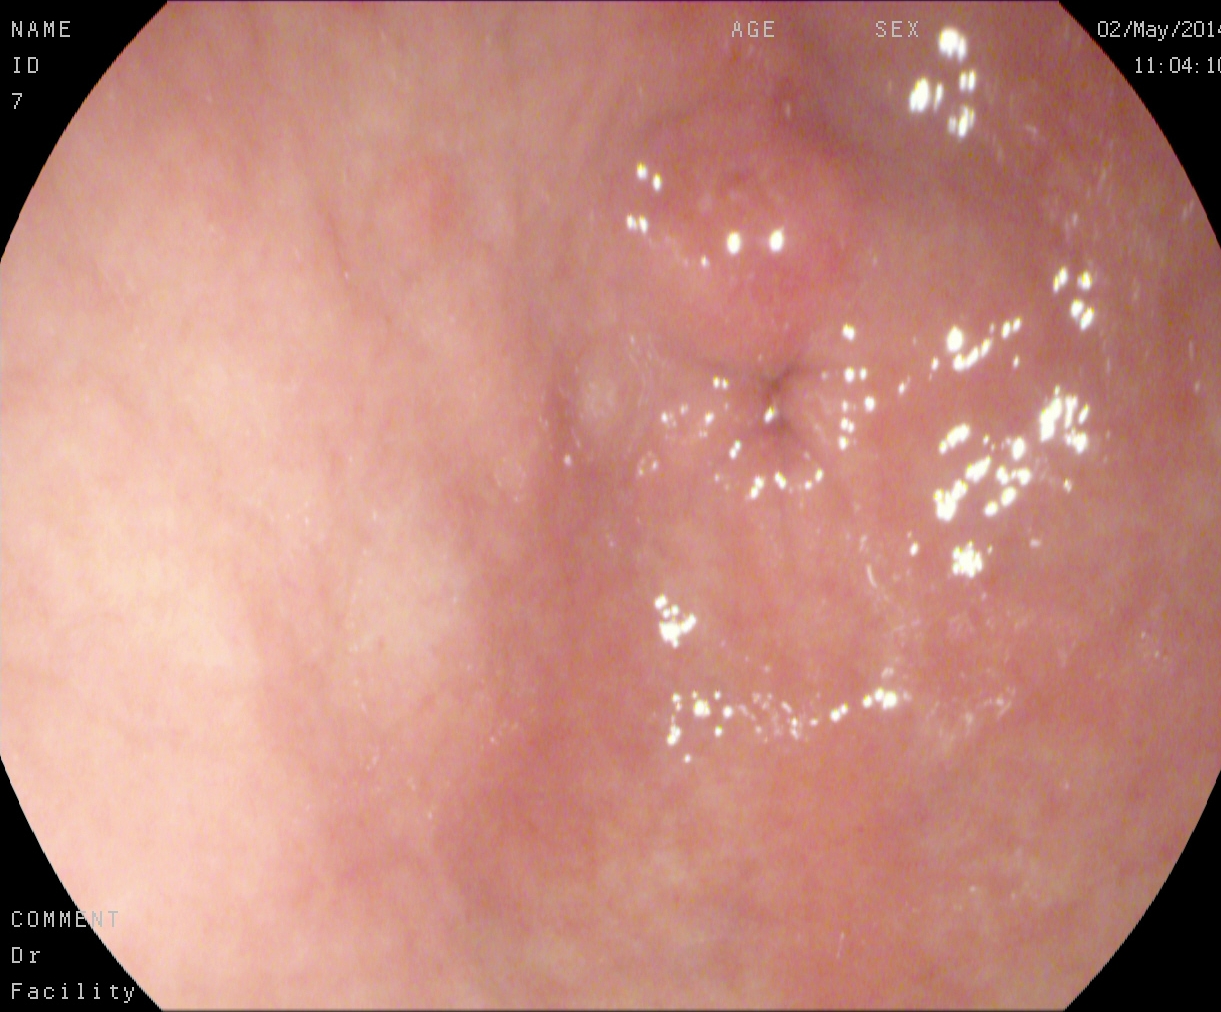This endoscopic image of the upper GI tract shows pylorus.